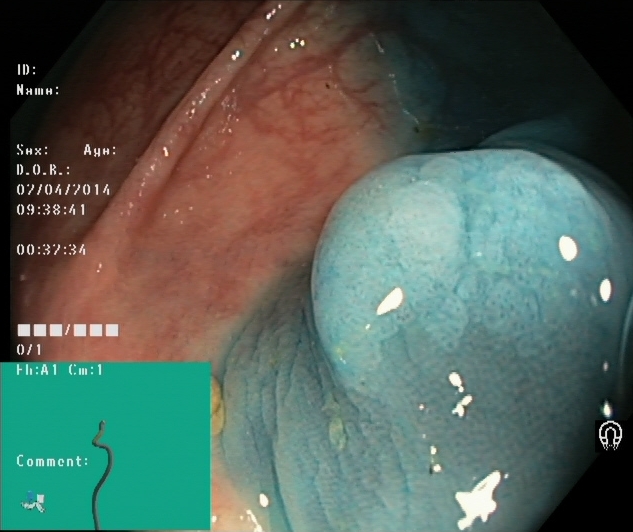This endoscopic image shows dyed and lifted polyp (pre-resection).